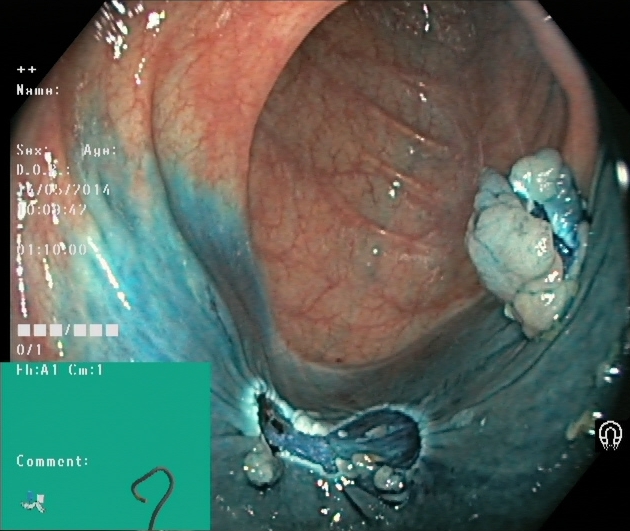Dyed resection margins (post-polypectomy).